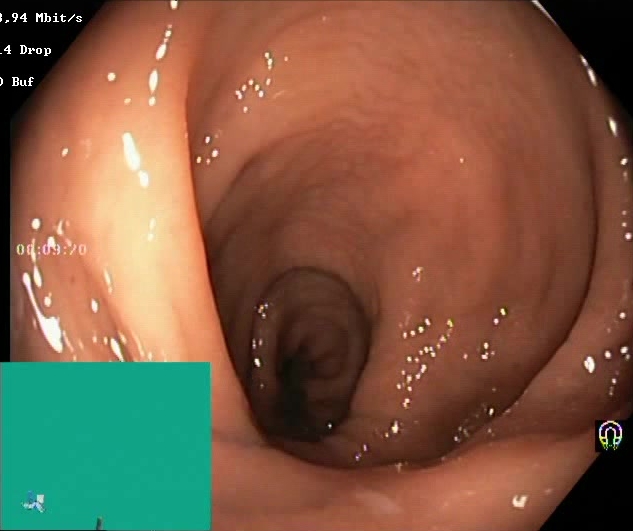{"modality": "lower-GI endoscopy", "finding": "BBPS score 2\u20133 (adequate preparation)"}